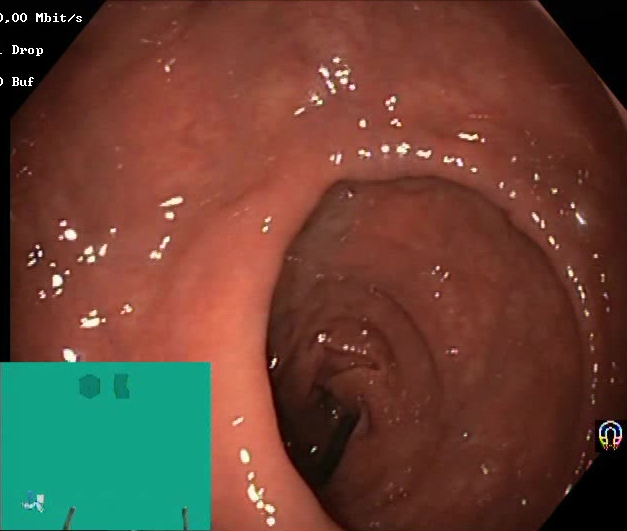PROCEDURE: Colonoscopy.
CATEGORY: Mucosal-view quality.
FINDINGS: BBPS score 2–3 (adequate preparation).